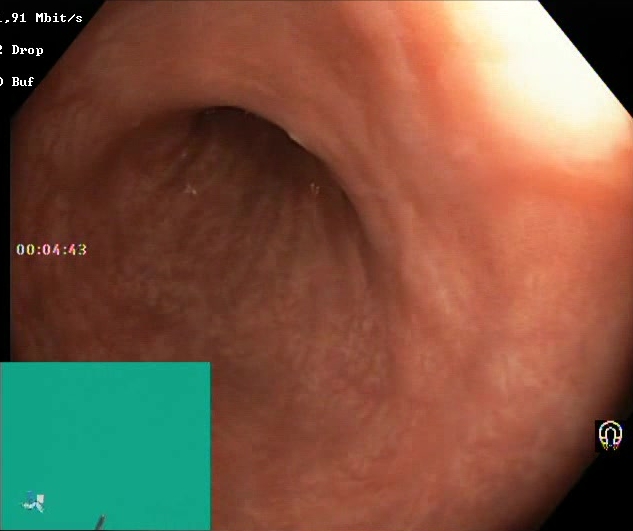{"modality": "colonoscopy", "tract": "lower GI tract", "finding": "Boston Bowel Preparation Scale score 2\u20133 (adequate preparation)"}